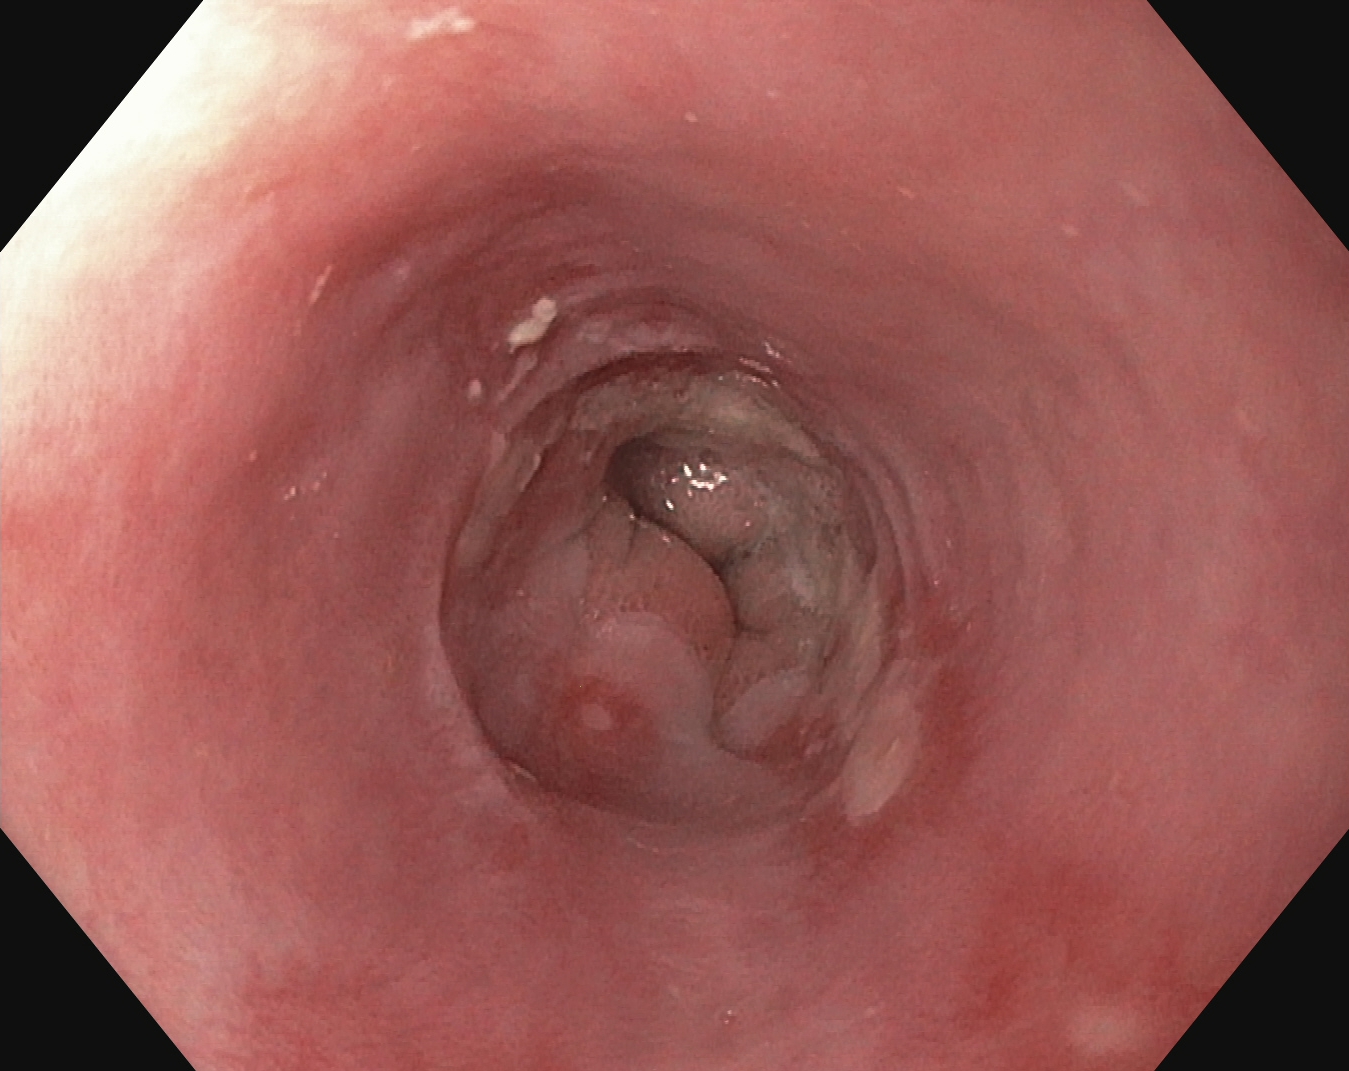PROCEDURE: Gastroscopy.
FINDINGS: Reflux esophagitis, Los Angeles grade B–D.